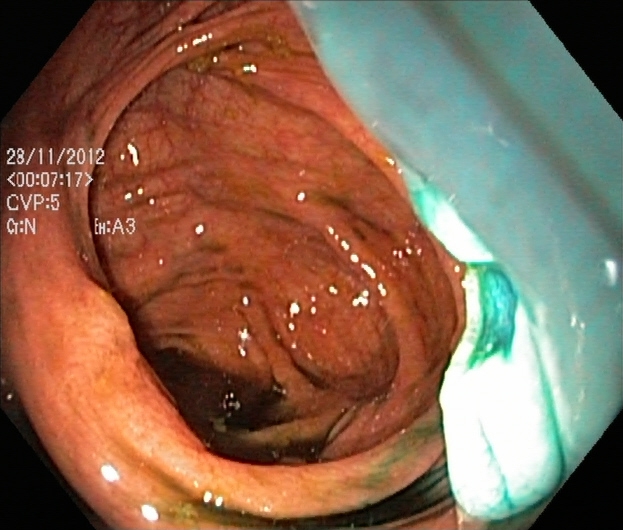modality: lower gastrointestinal endoscopy; category: therapeutic intervention; finding: dyed resection margins (post-polypectomy)